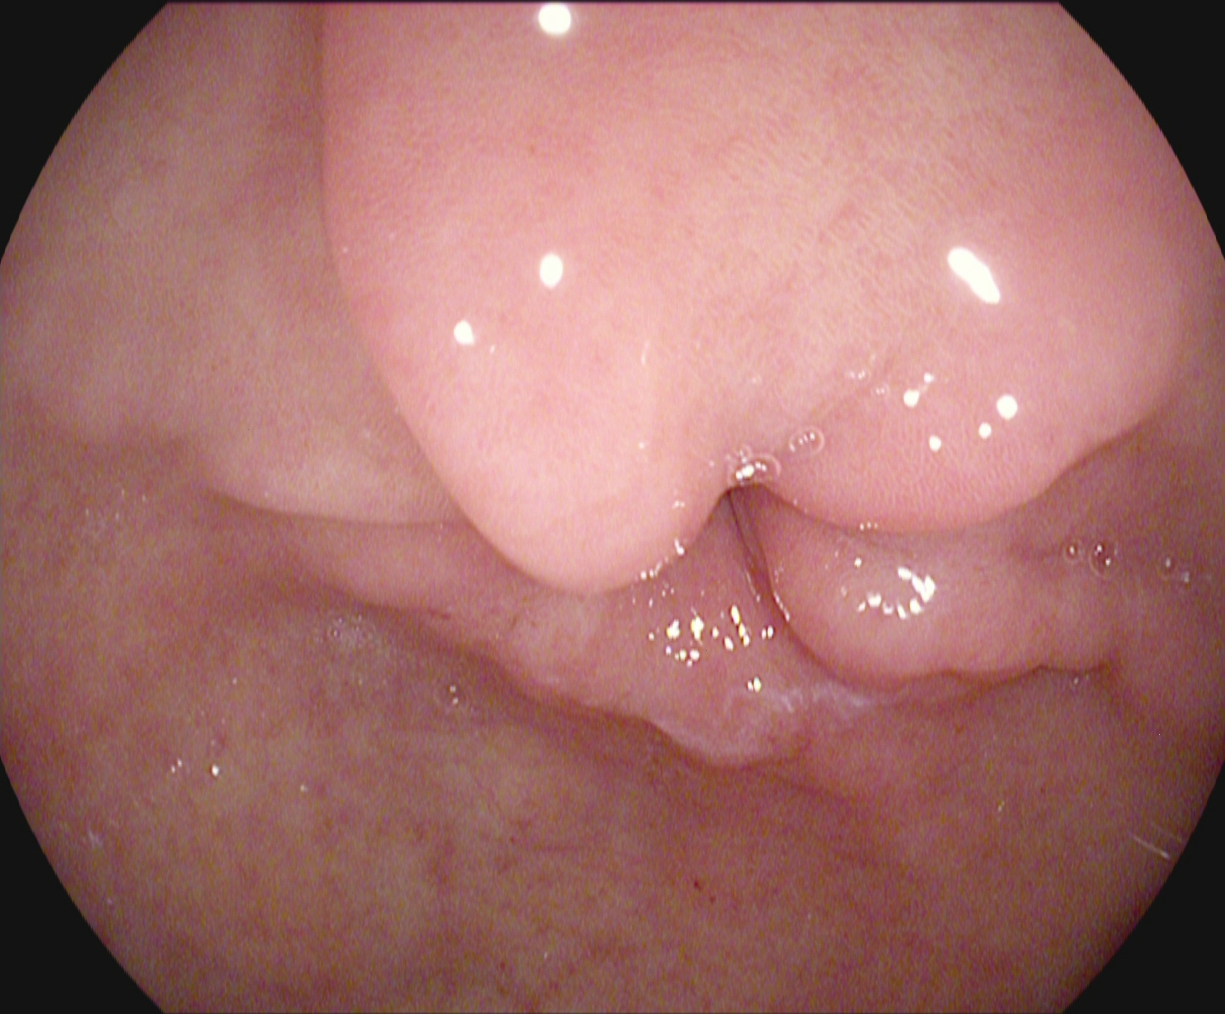PROCEDURE: EGD.
FINDINGS: Pylorus.